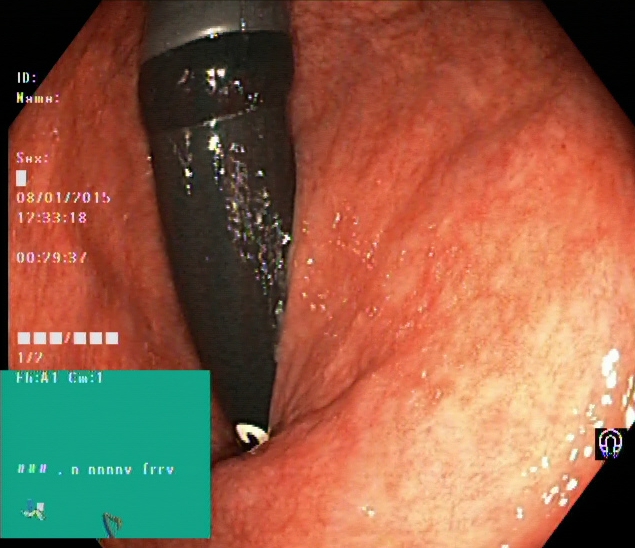This endoscopic image shows rectum in retroflexion.